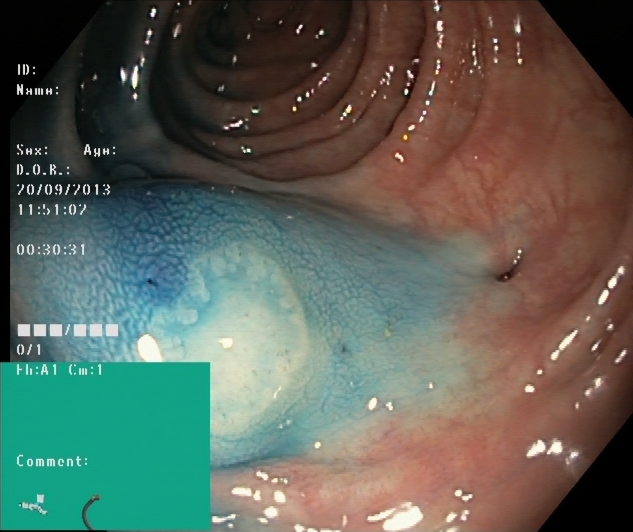Colonoscopy. Tract: lower GI tract. Therapeutic intervention. Finding: dyed and lifted polyp (pre-resection).